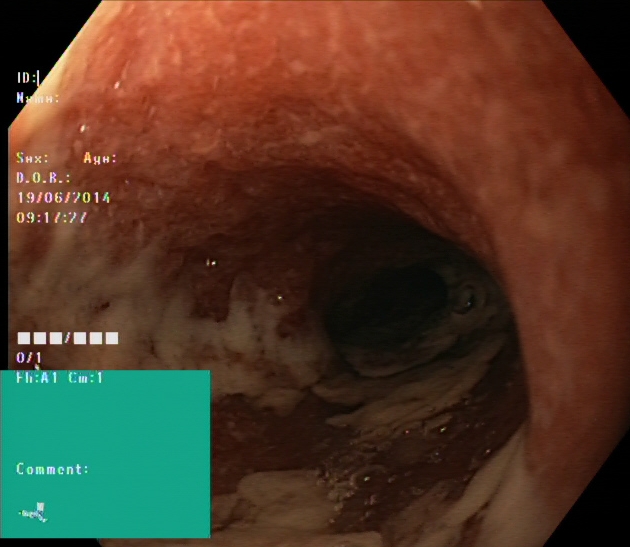Lower-GI endoscopy. Tract: lower GI tract. Finding: ulcerative colitis, Mayo endoscopic subscore 2.